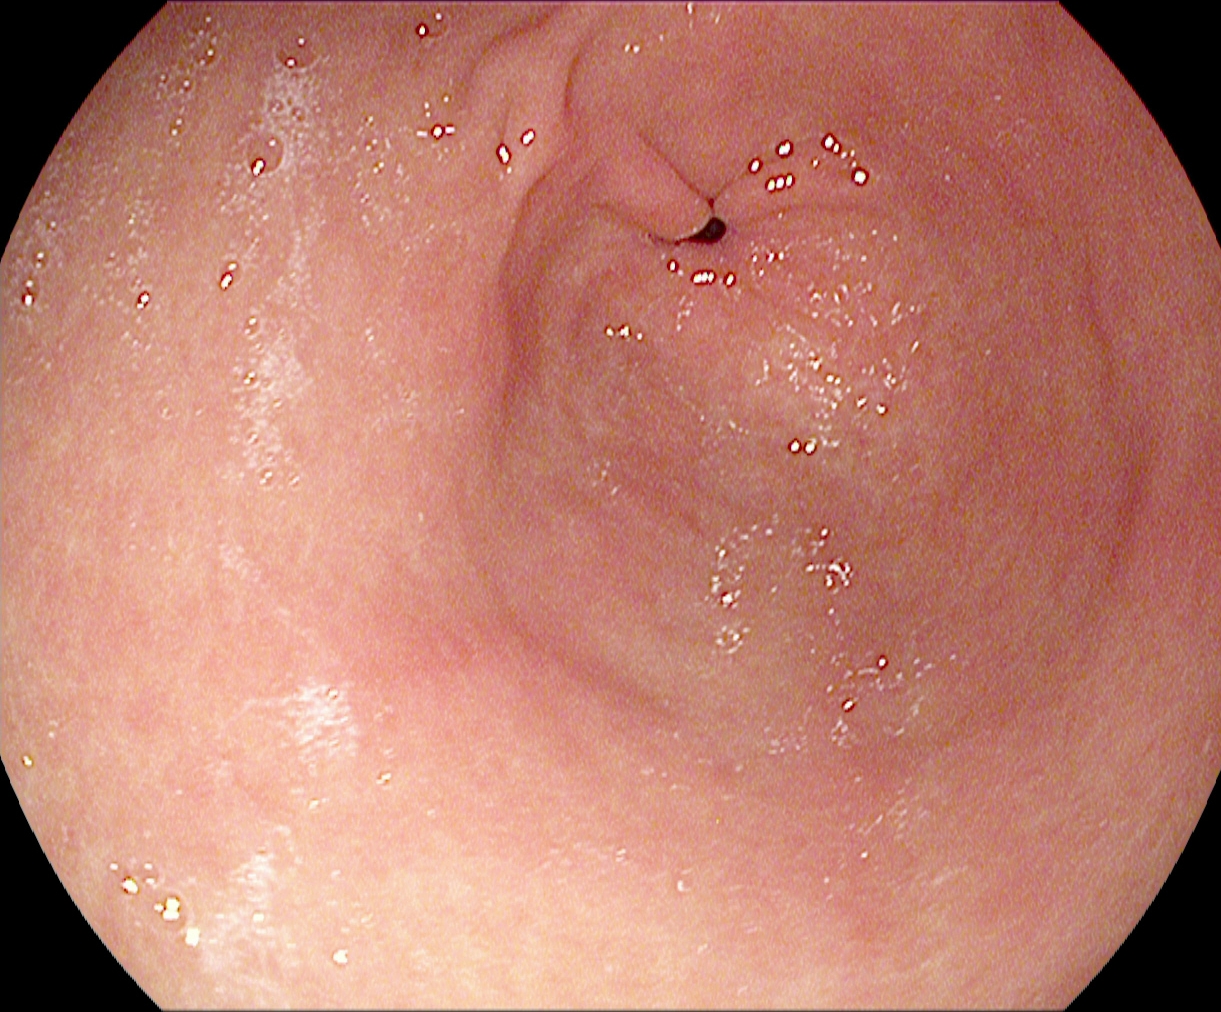This endoscopic image shows pylorus.